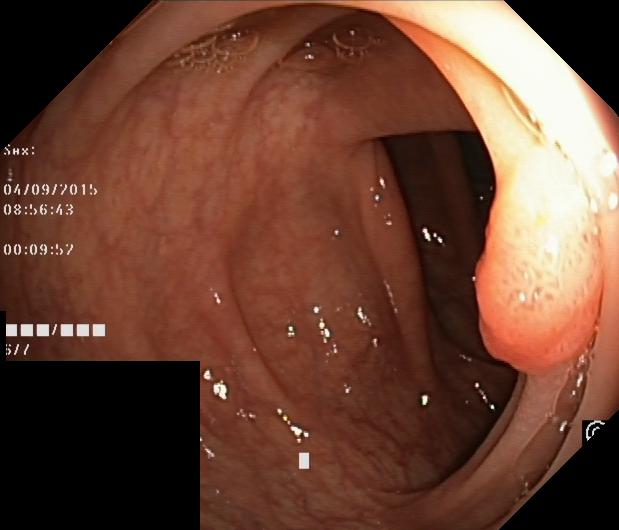This endoscopy frame of the lower GI tract shows colorectal polyp(s).